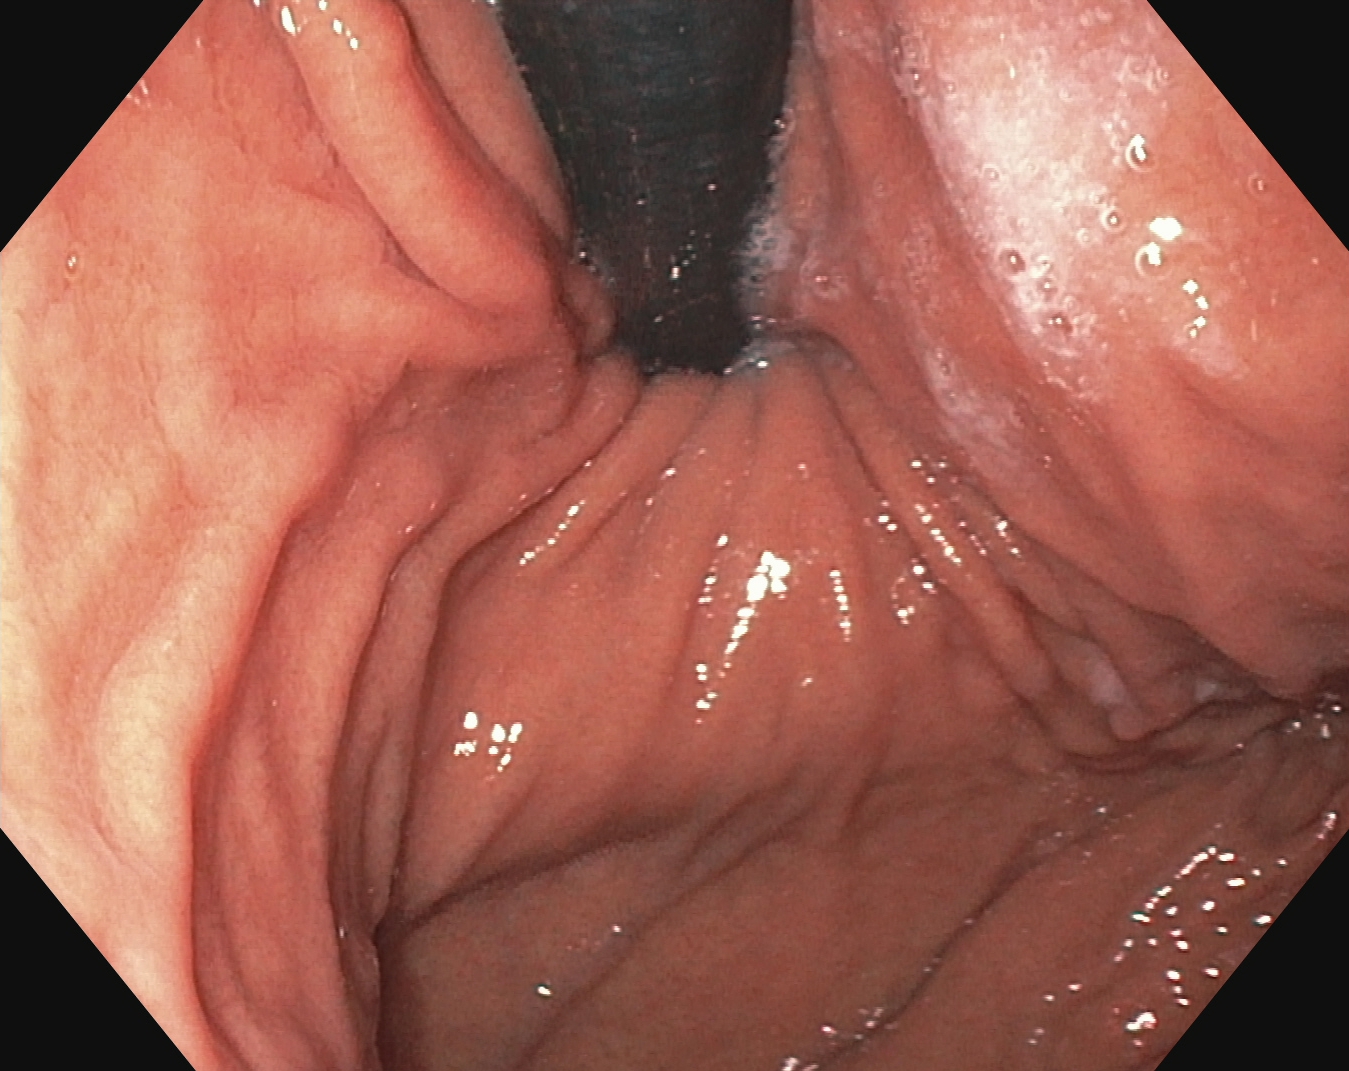modality: gastroscopy; tract: upper GI tract; finding: stomach in retroflexion